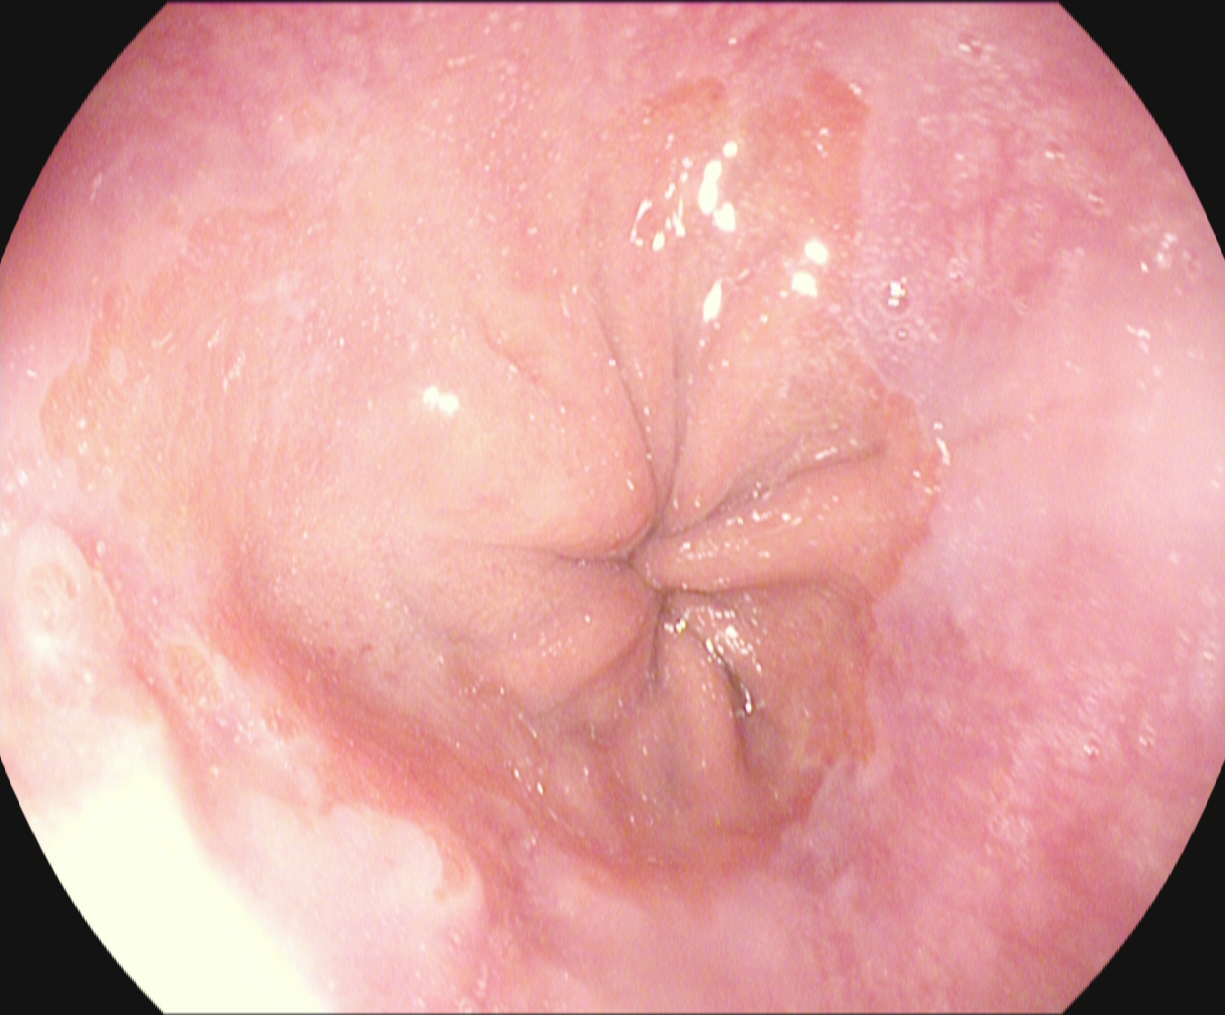Z-line (gastroesophageal junction).